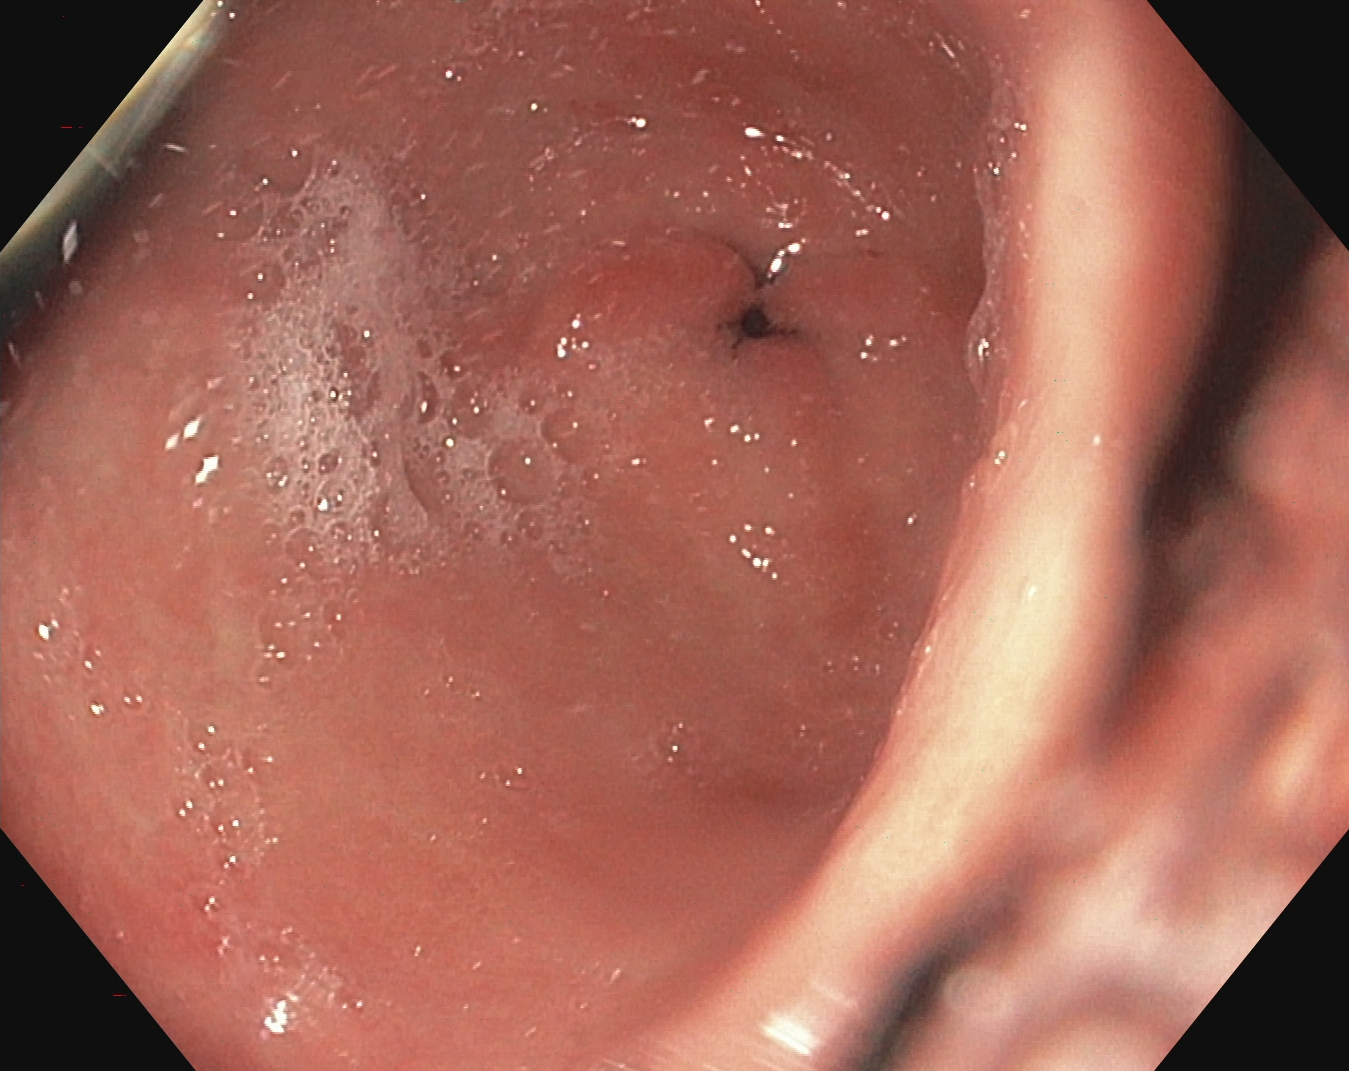Gastroscopy — pylorus.